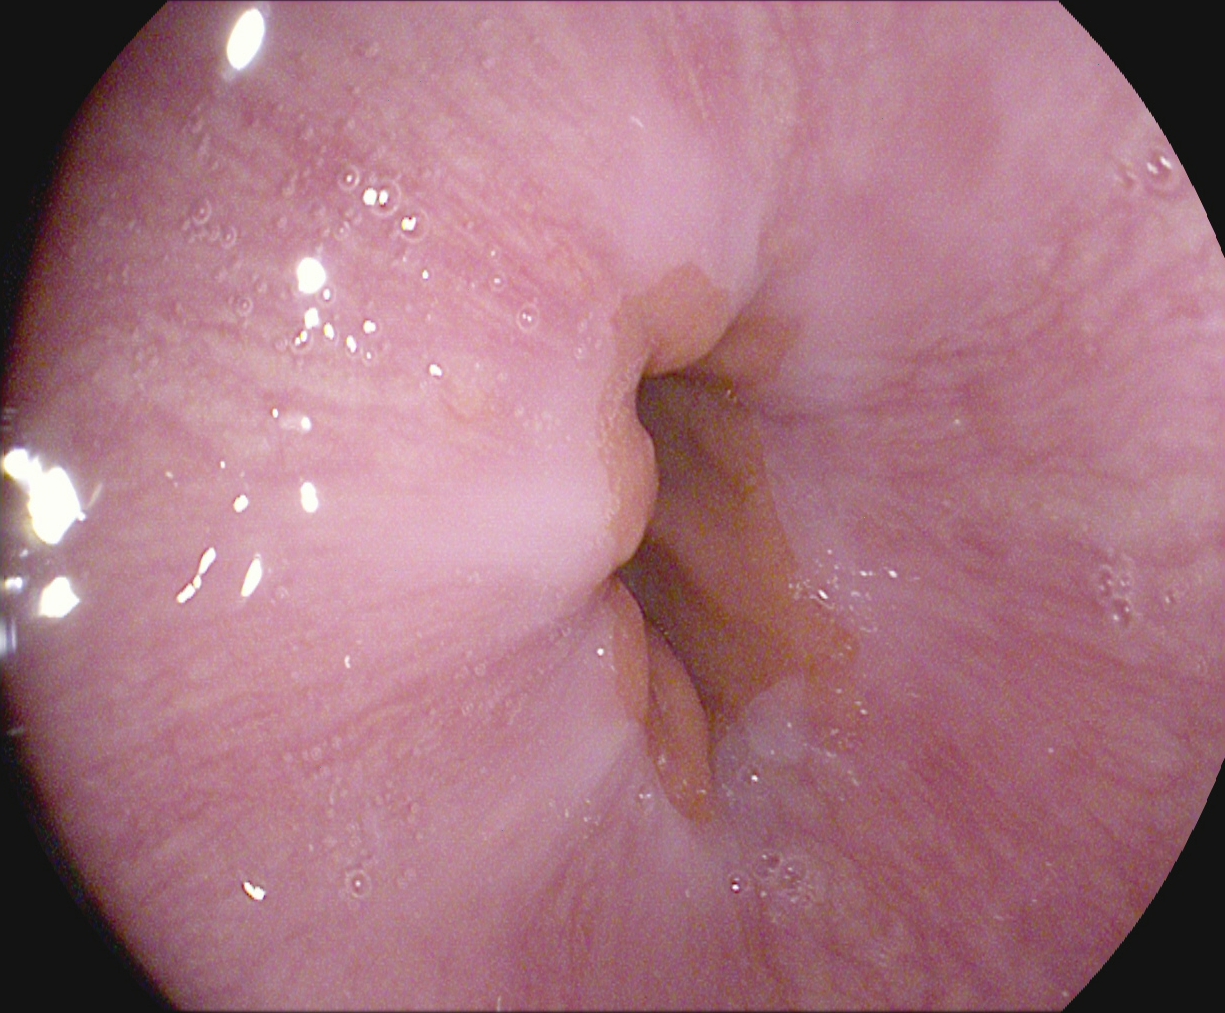Endoscopic image showing Z-line (gastroesophageal junction).